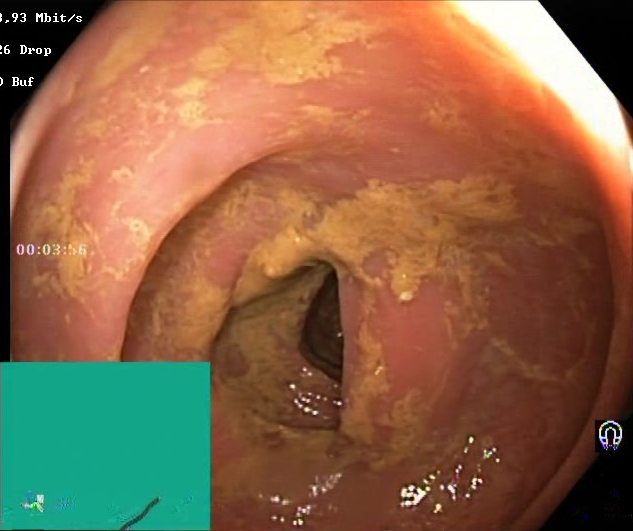Boston Bowel Preparation Scale score 0–1 (inadequate preparation).